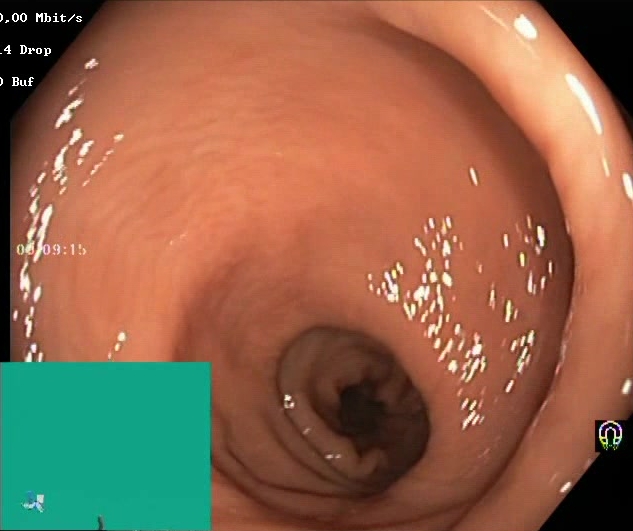Lower-GI endoscopy. Finding: BBPS score 2–3 (adequate preparation).